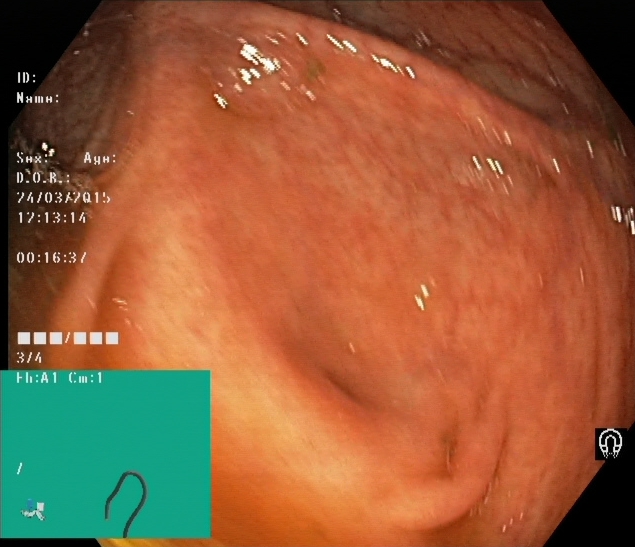cecum.